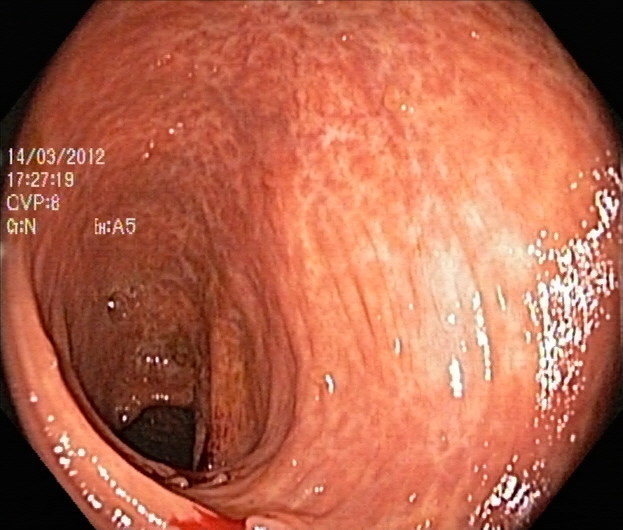PROCEDURE: Colonoscopy.
CATEGORY: Pathological finding.
FINDINGS: UC, Mayo endoscopic subscore 2.